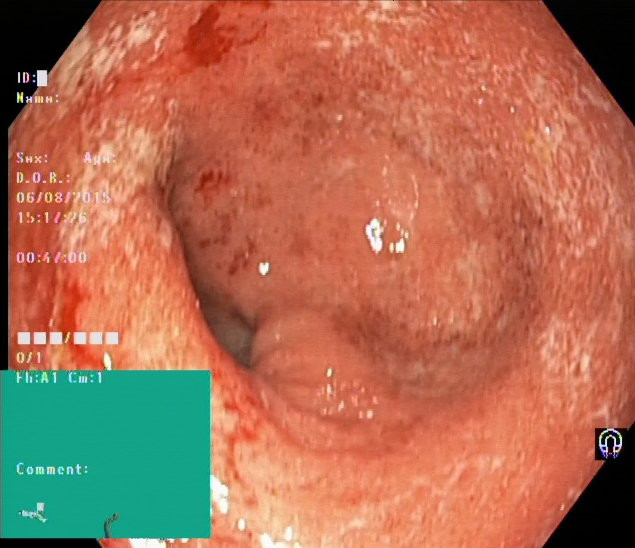modality: colonoscopy; finding: UC, Mayo endoscopic subscore 2